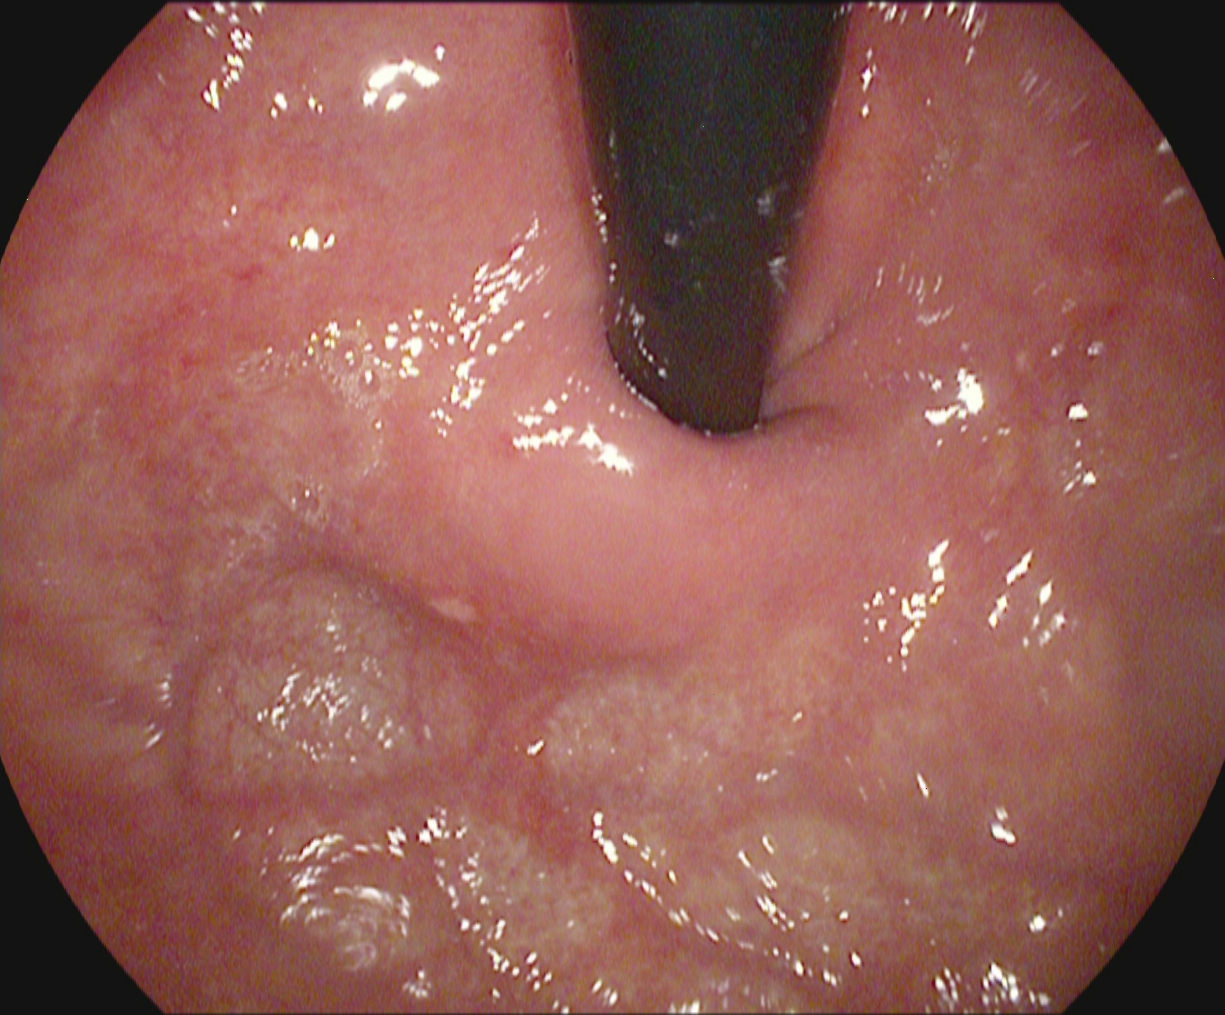modality: gastroscopy | tract: upper GI tract | finding: stomach in retroflexion